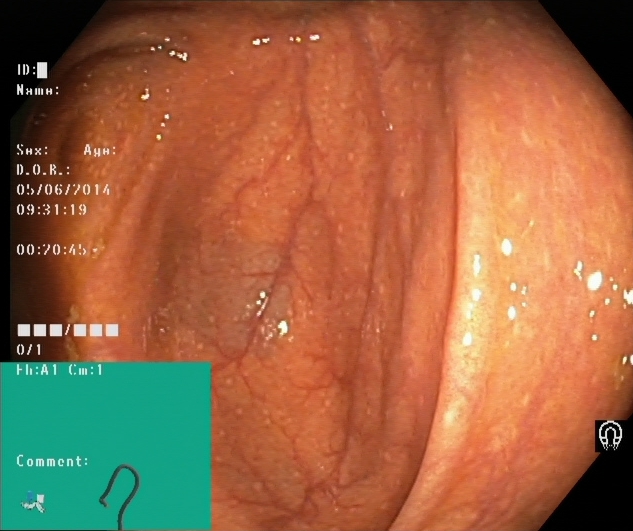This endoscopy frame shows cecum.